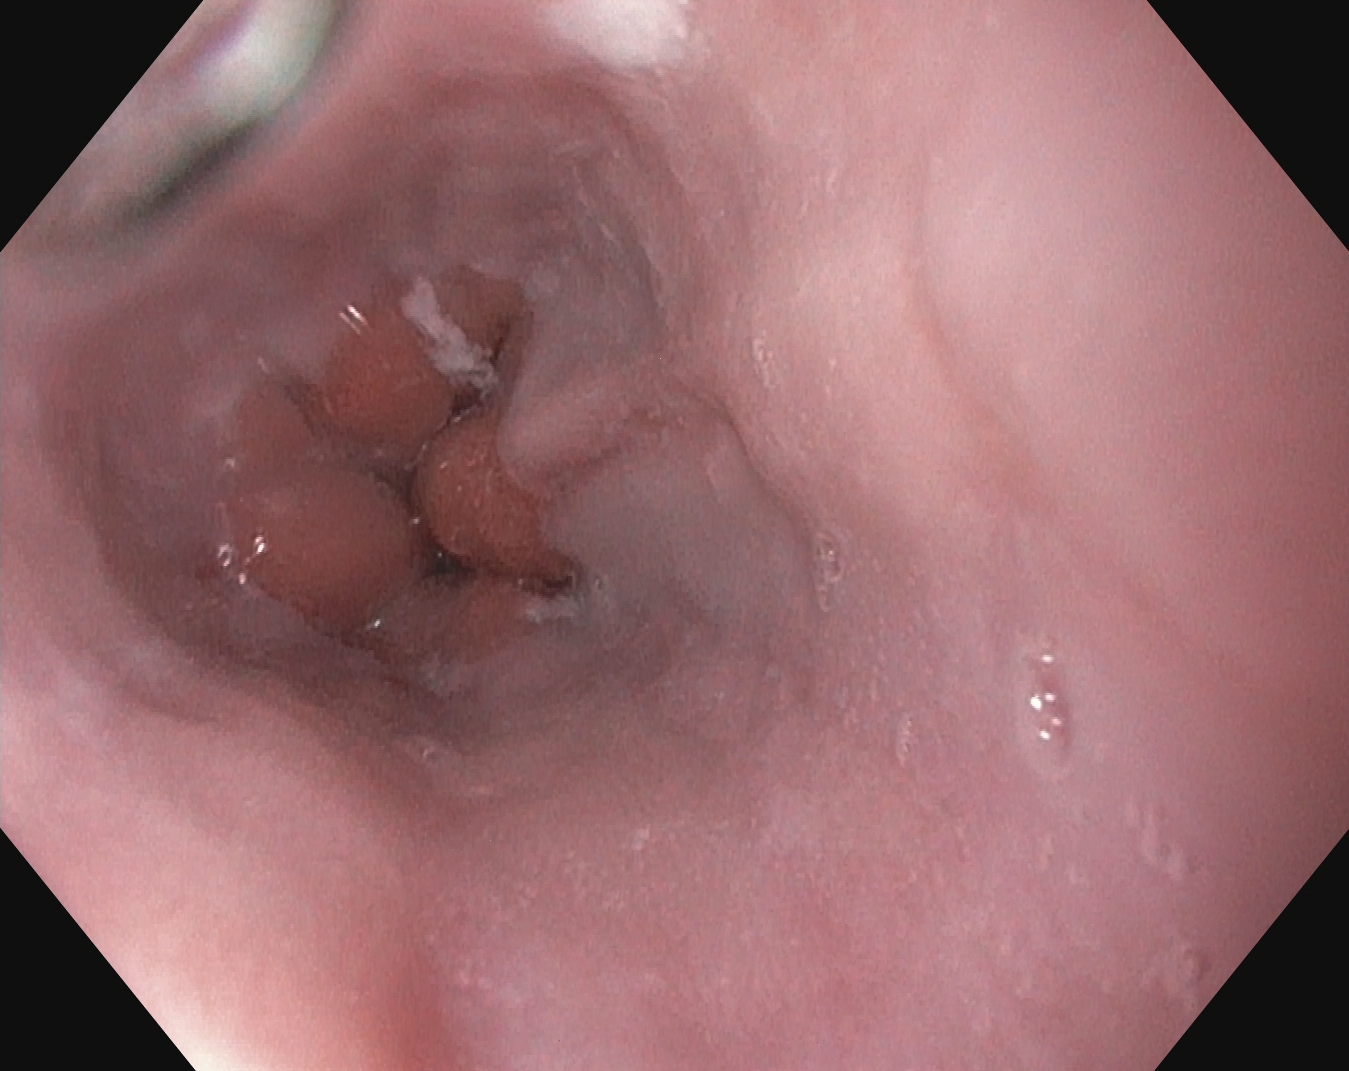PROCEDURE: Esophagogastroduodenoscopy.
CATEGORY: Anatomical landmark.
FINDINGS: Z-line (gastroesophageal junction).